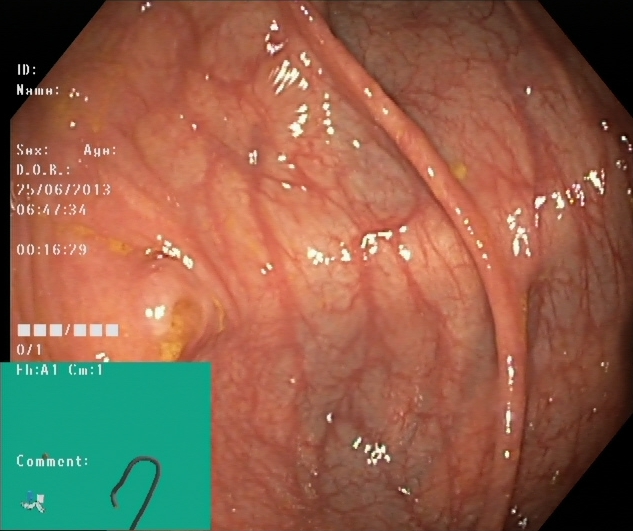This endoscopy frame of the lower GI tract shows cecum.